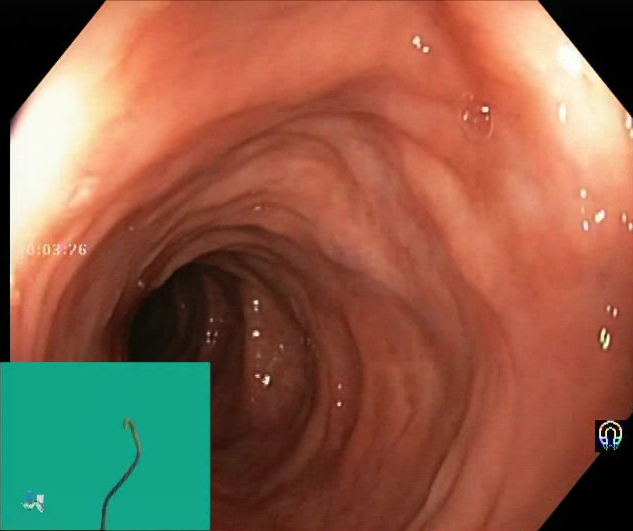This endoscopy frame of the lower GI tract shows BBPS score 2–3 (adequate preparation).